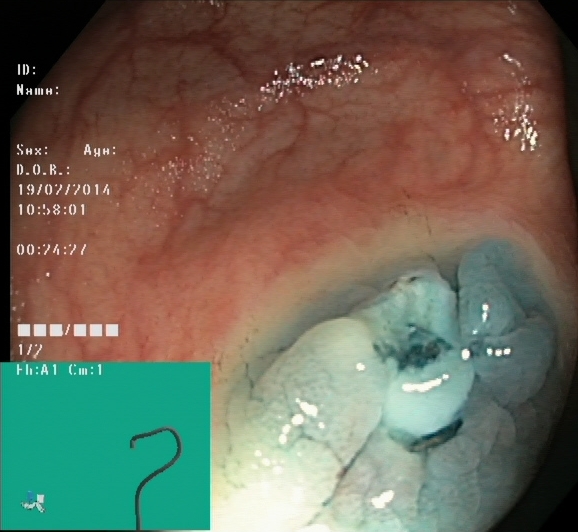dyed resection margins (post-polypectomy).